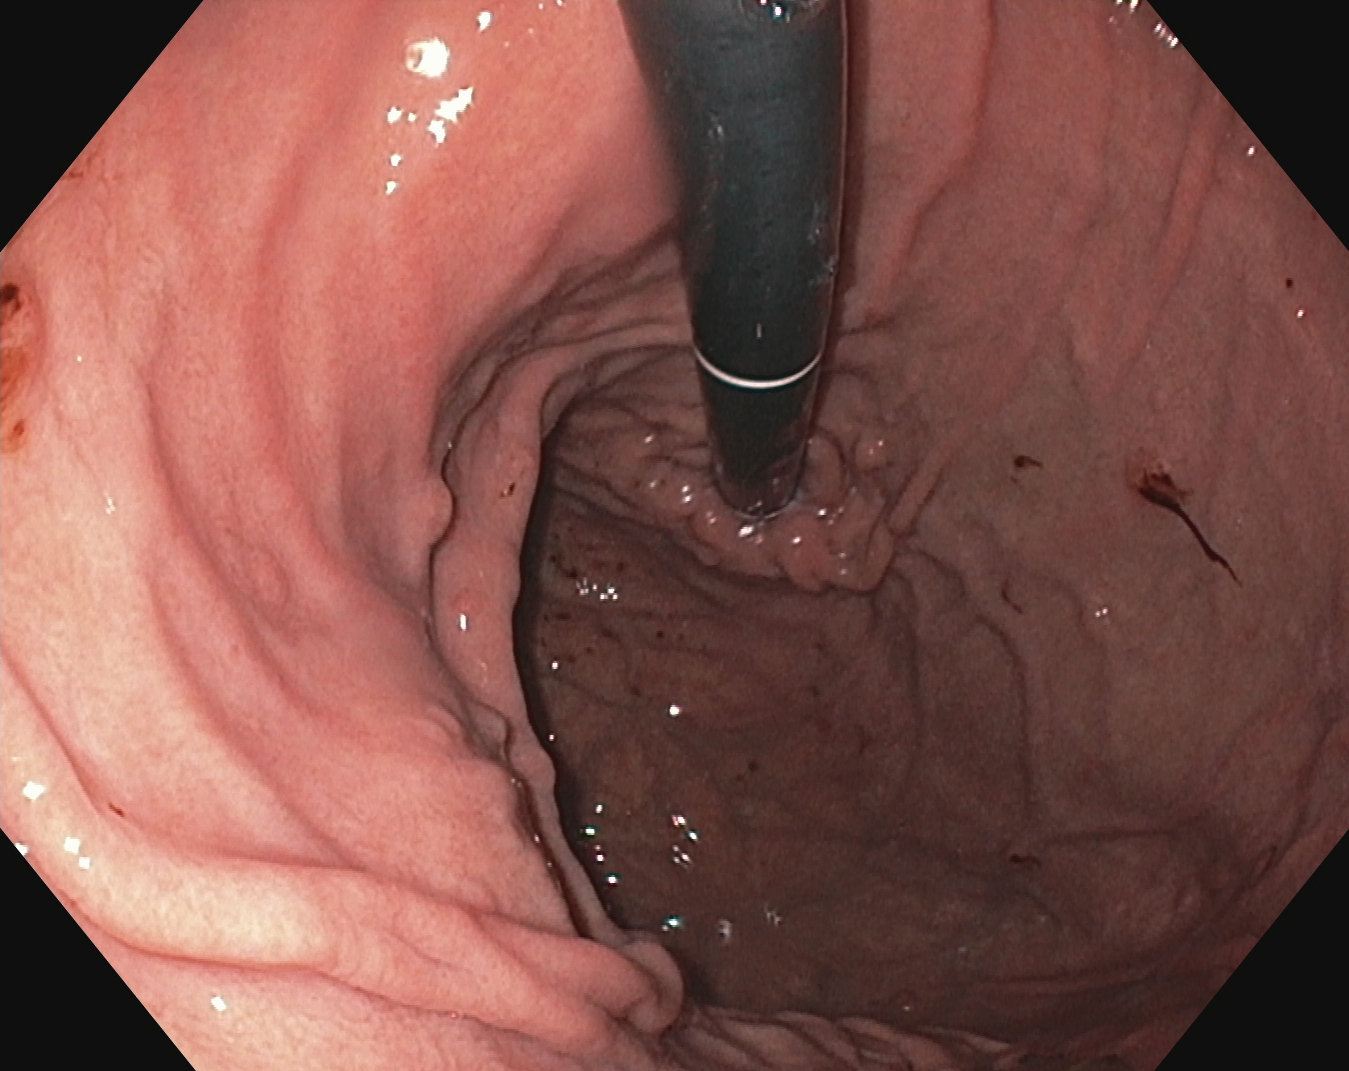Endoscopic frame showing stomach in retroflexion.